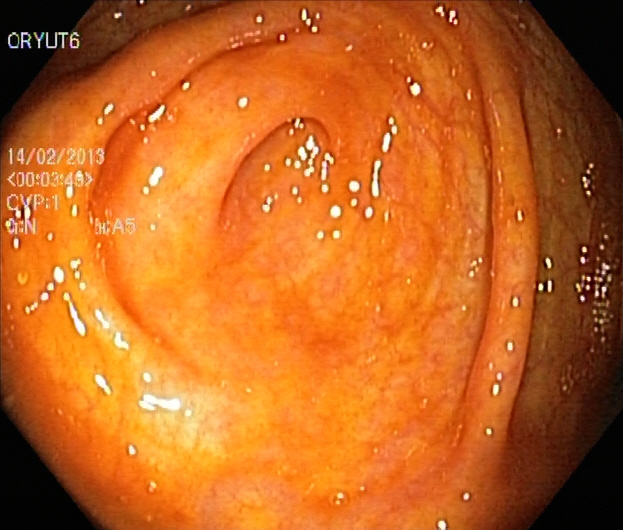modality: lower-GI endoscopy; finding: cecum